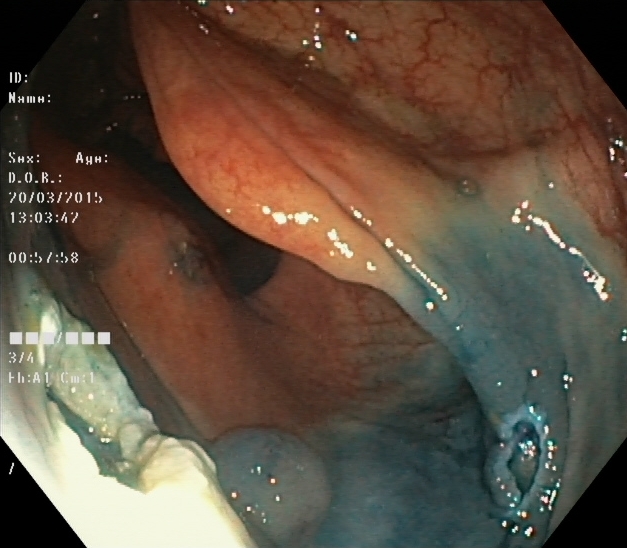Colonoscopy. Finding: dyed resection margins (post-polypectomy).